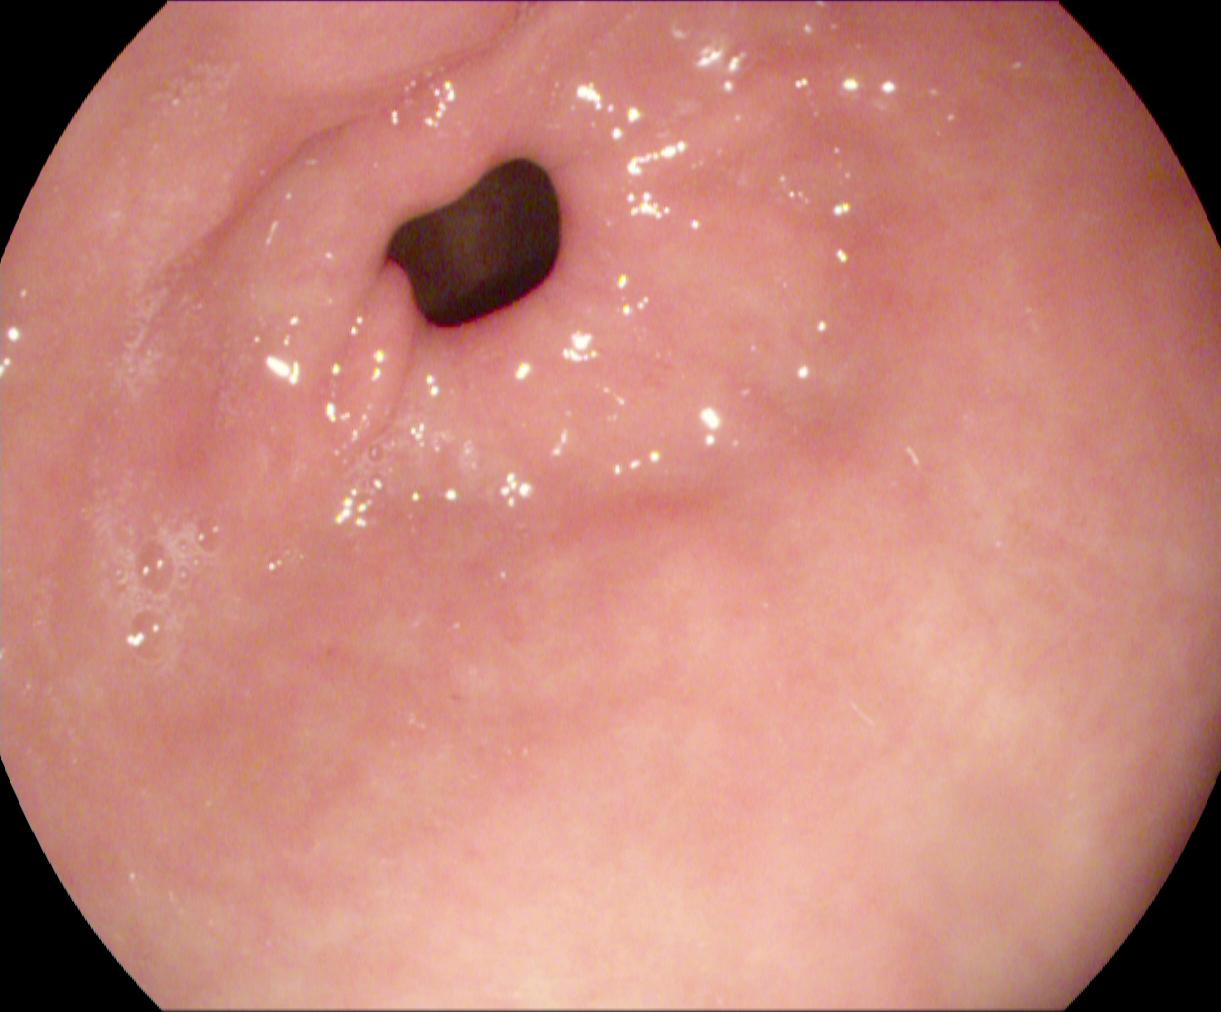{"modality": "gastroscopy", "tract": "upper GI tract", "category": "anatomical landmark", "finding": "pylorus"}